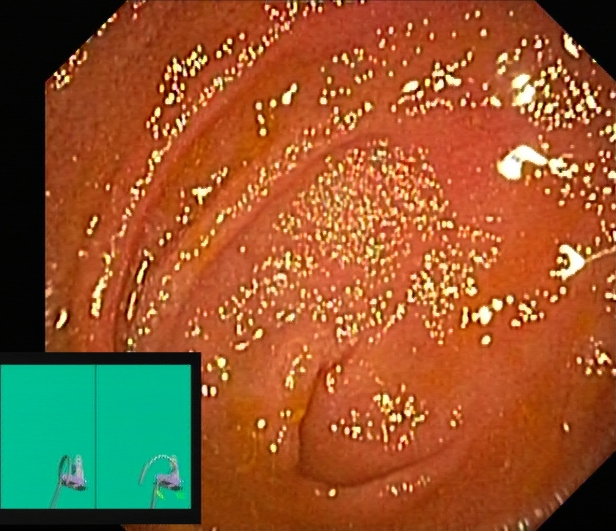{"modality": "colonoscopy", "tract": "lower GI tract", "category": "anatomical landmark", "finding": "cecum"}